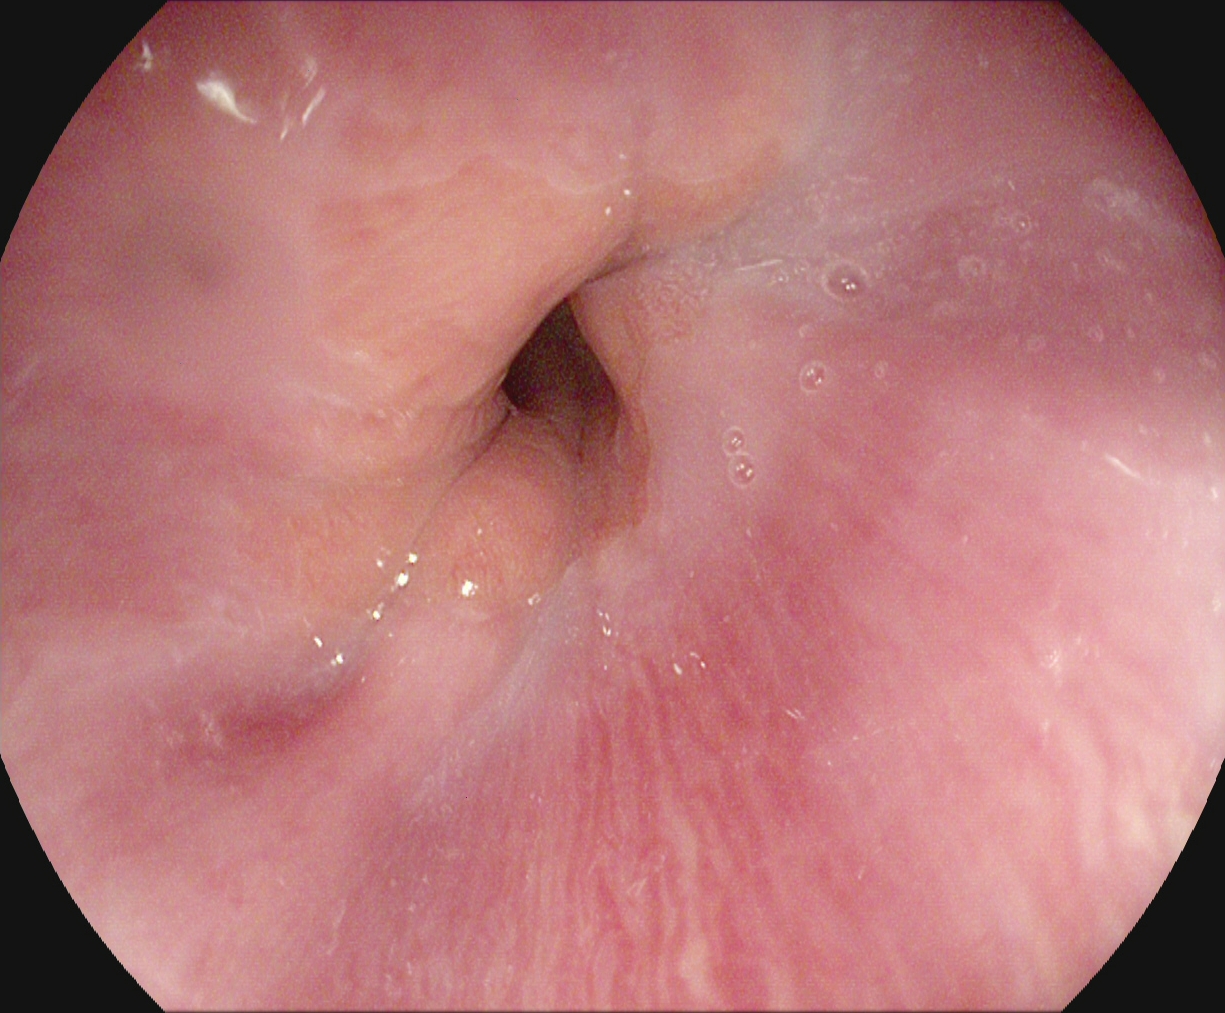{"modality": "EGD", "tract": "upper GI tract", "category": "anatomical landmark", "finding": "Z-line (gastroesophageal junction)"}